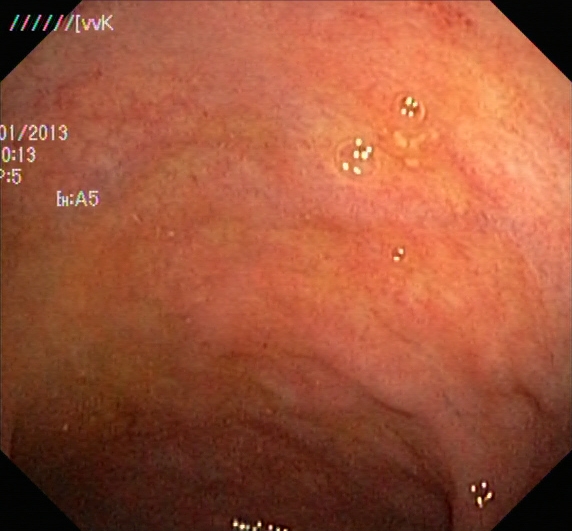Endoscopic frame of the lower GI tract showing ulcerative colitis, Mayo endoscopic subscore 1.